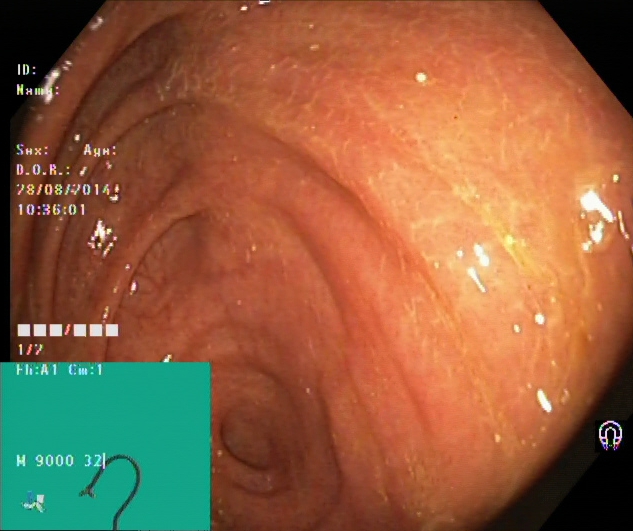This endoscopic image shows cecum.